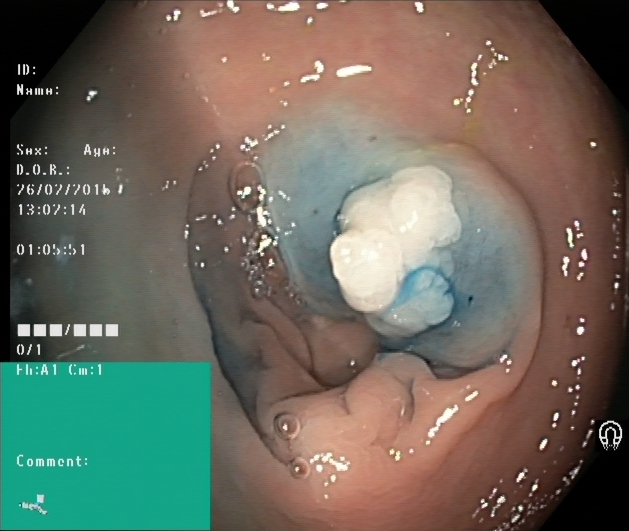Endoscopic frame showing dyed and lifted polyp (pre-resection).